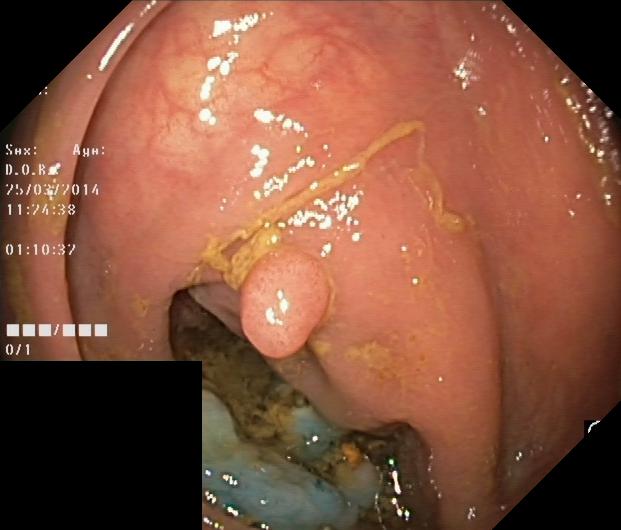PROCEDURE: Lower-GI endoscopy.
CATEGORY: Pathological finding.
FINDINGS: Colorectal polyp(s).